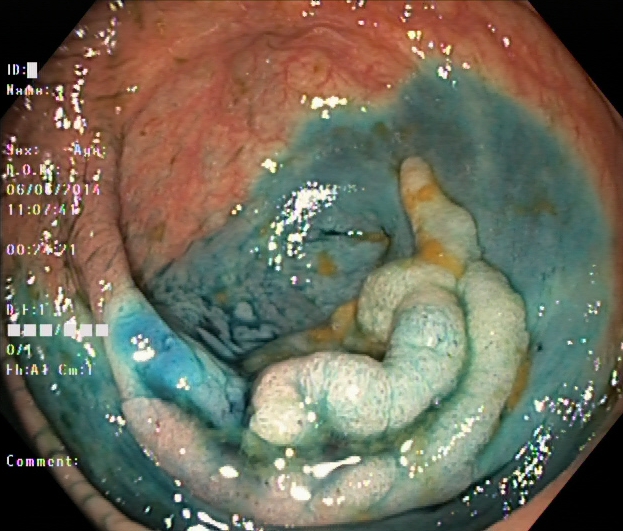This endoscopy frame of the lower GI tract shows dyed and lifted polyp (pre-resection).